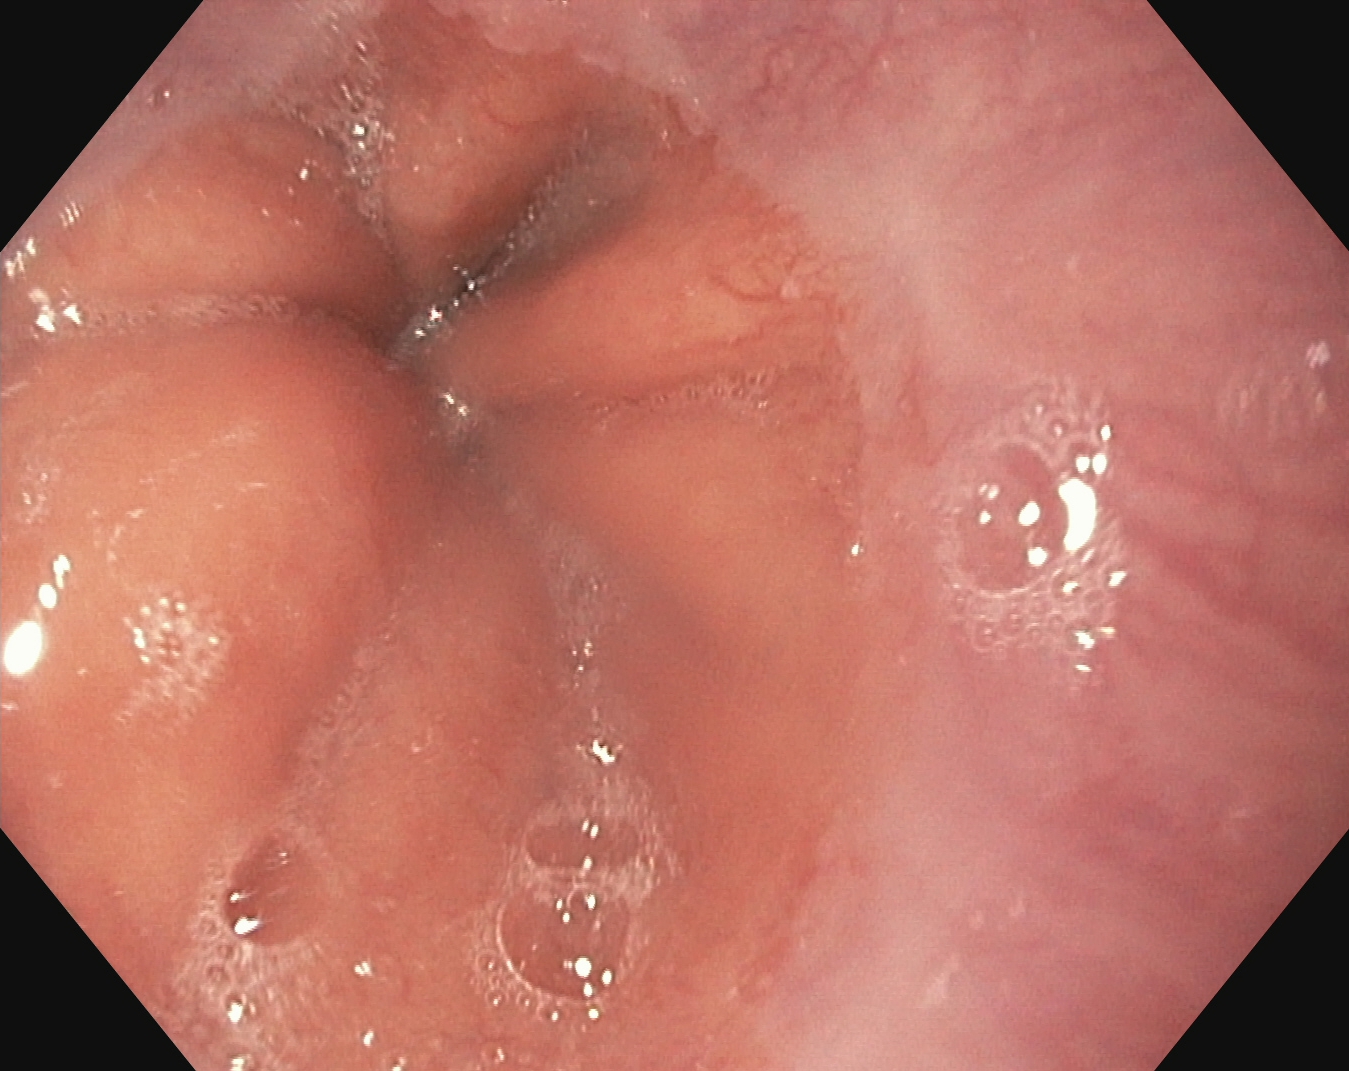modality: gastroscopy | finding: Z-line (gastroesophageal junction)